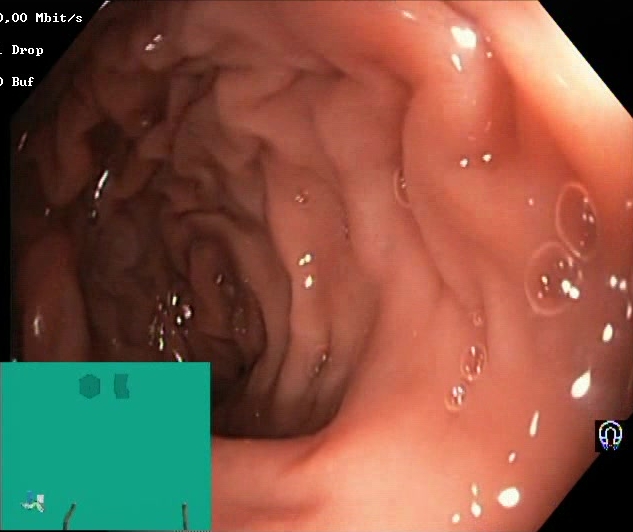Colonoscopy. Finding: BBPS score 2–3 (adequate preparation).